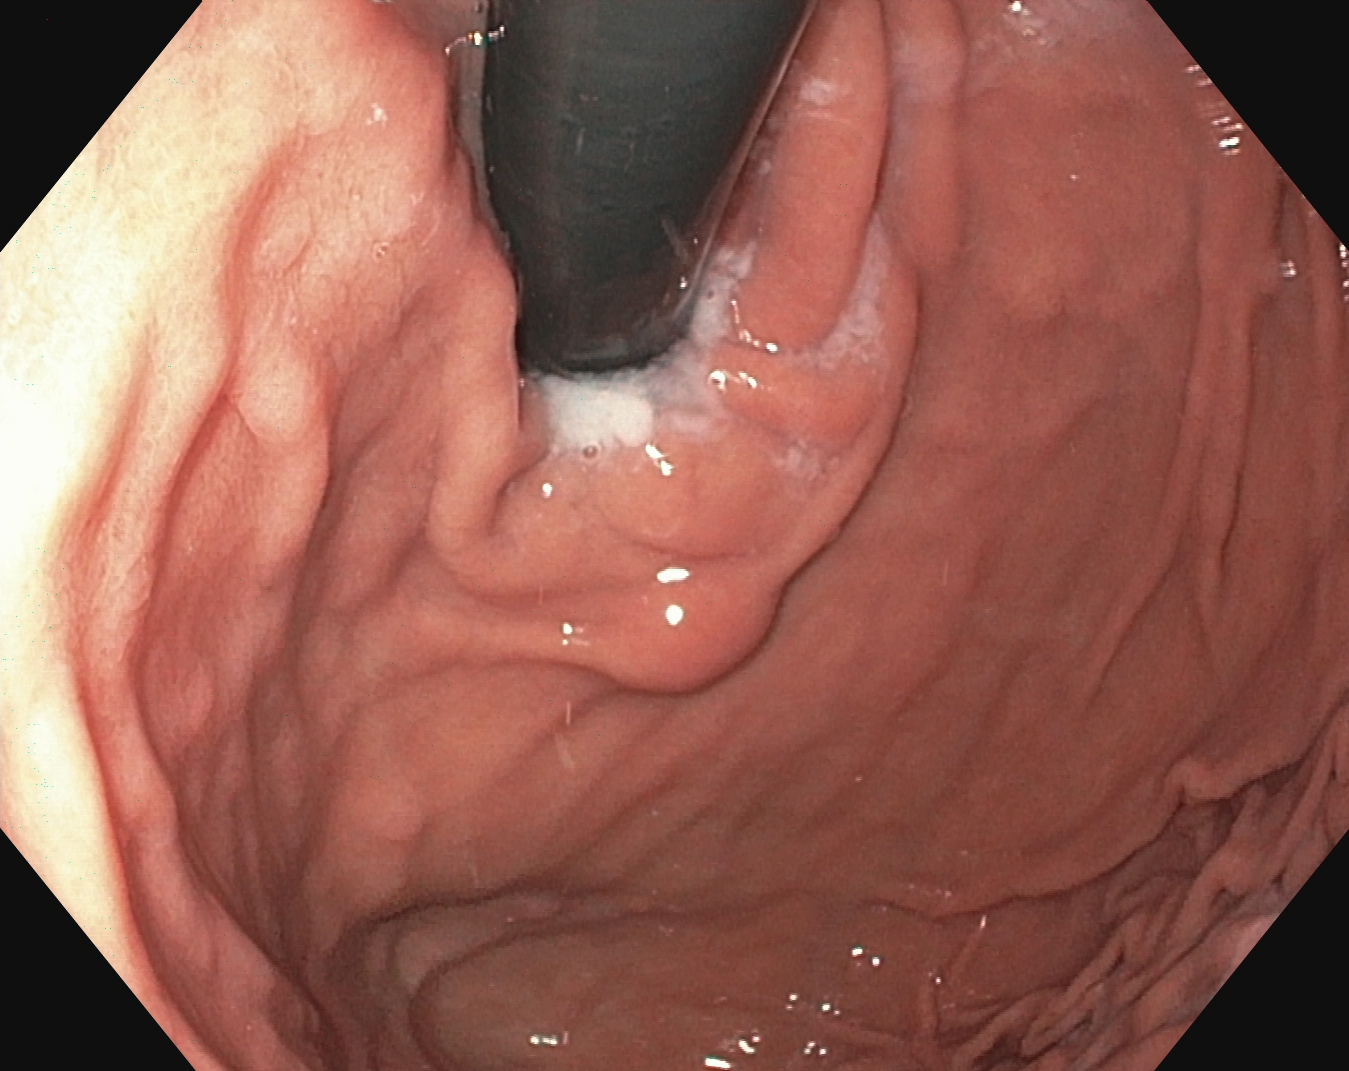Gastroscopy — stomach in retroflexion.